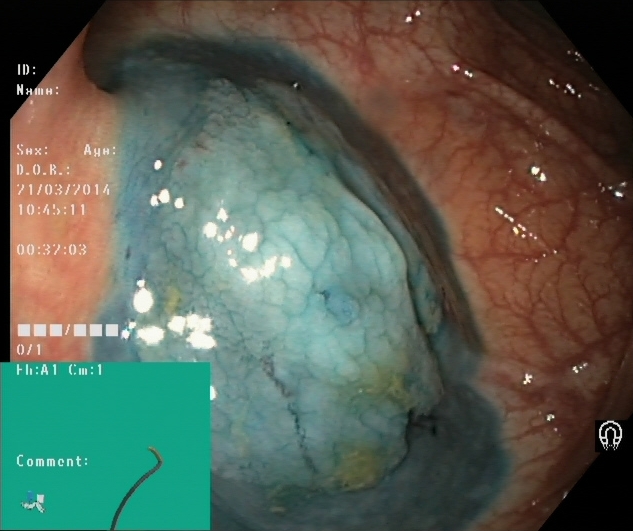Colonoscopy. Tract: lower GI tract. Finding: dyed and lifted polyp (pre-resection).